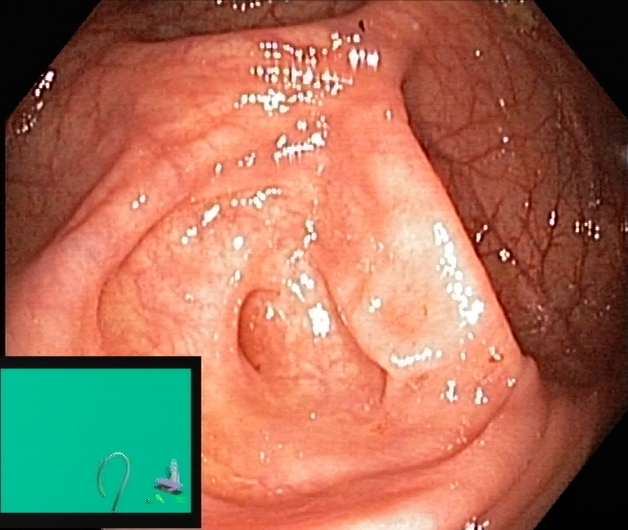Endoscopy image of the lower GI tract showing cecum.